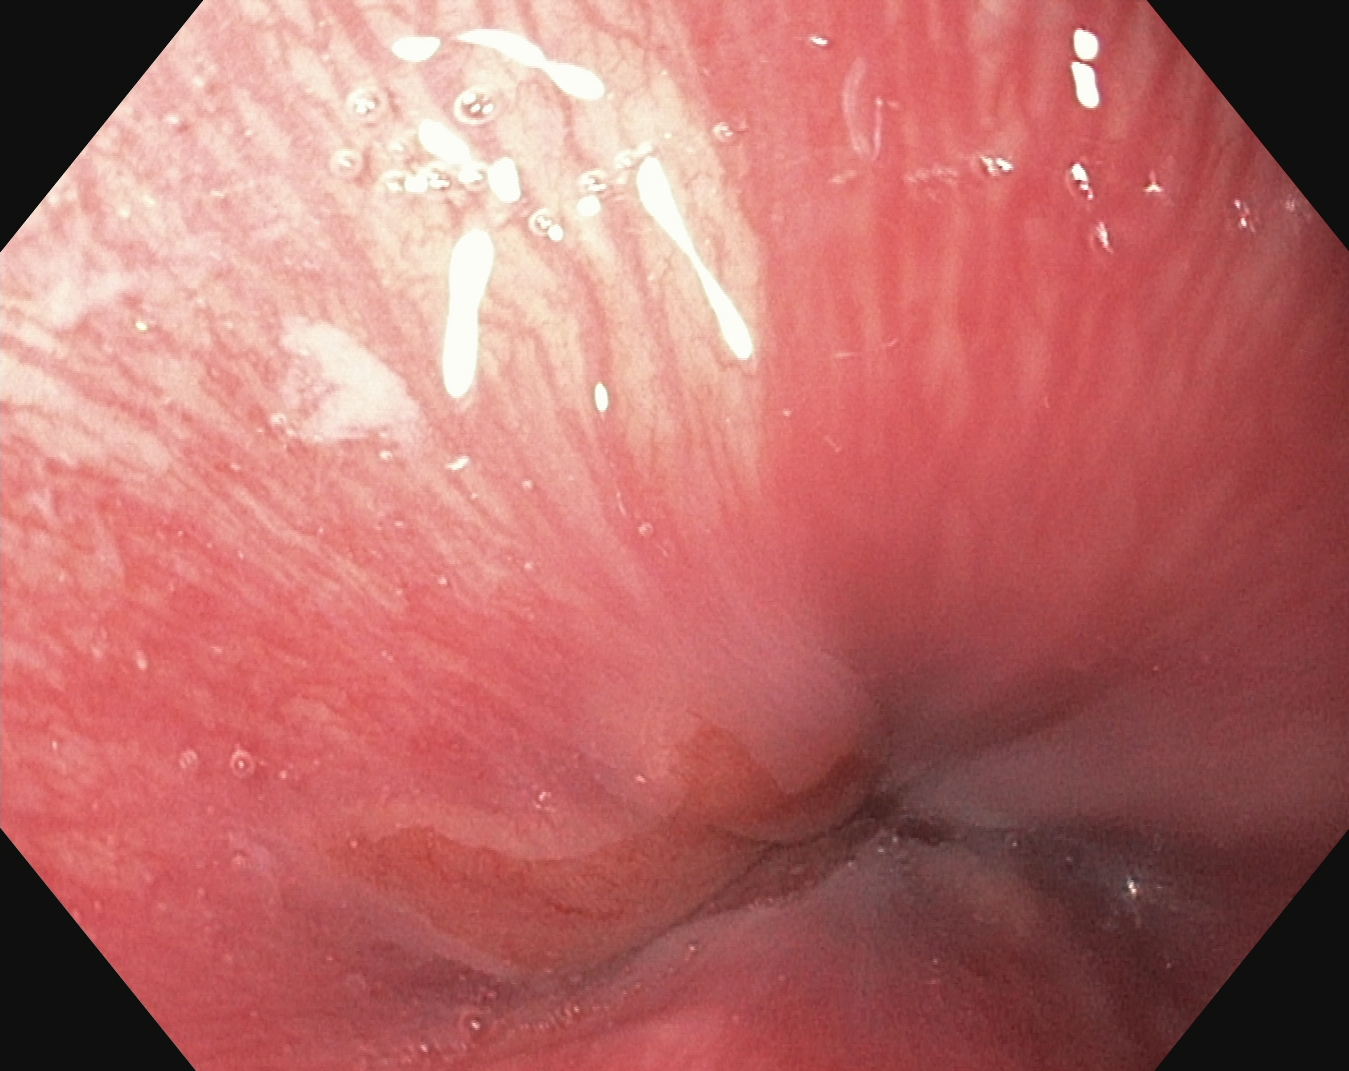{"modality": "esophagogastroduodenoscopy", "category": "anatomical landmark", "finding": "Z-line (gastroesophageal junction)"}